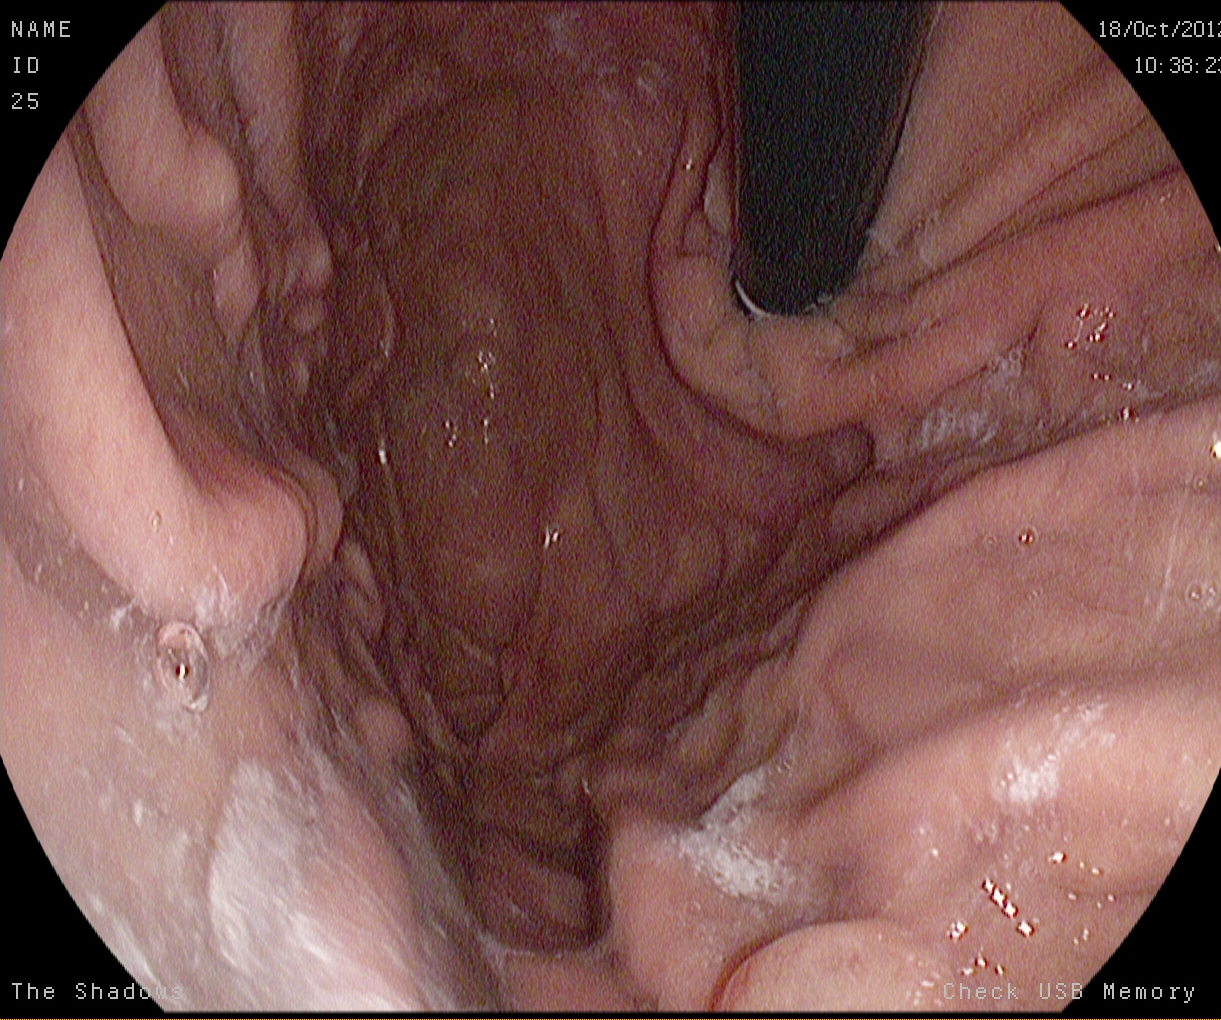{"modality": "gastroscopy", "finding": "stomach in retroflexion"}